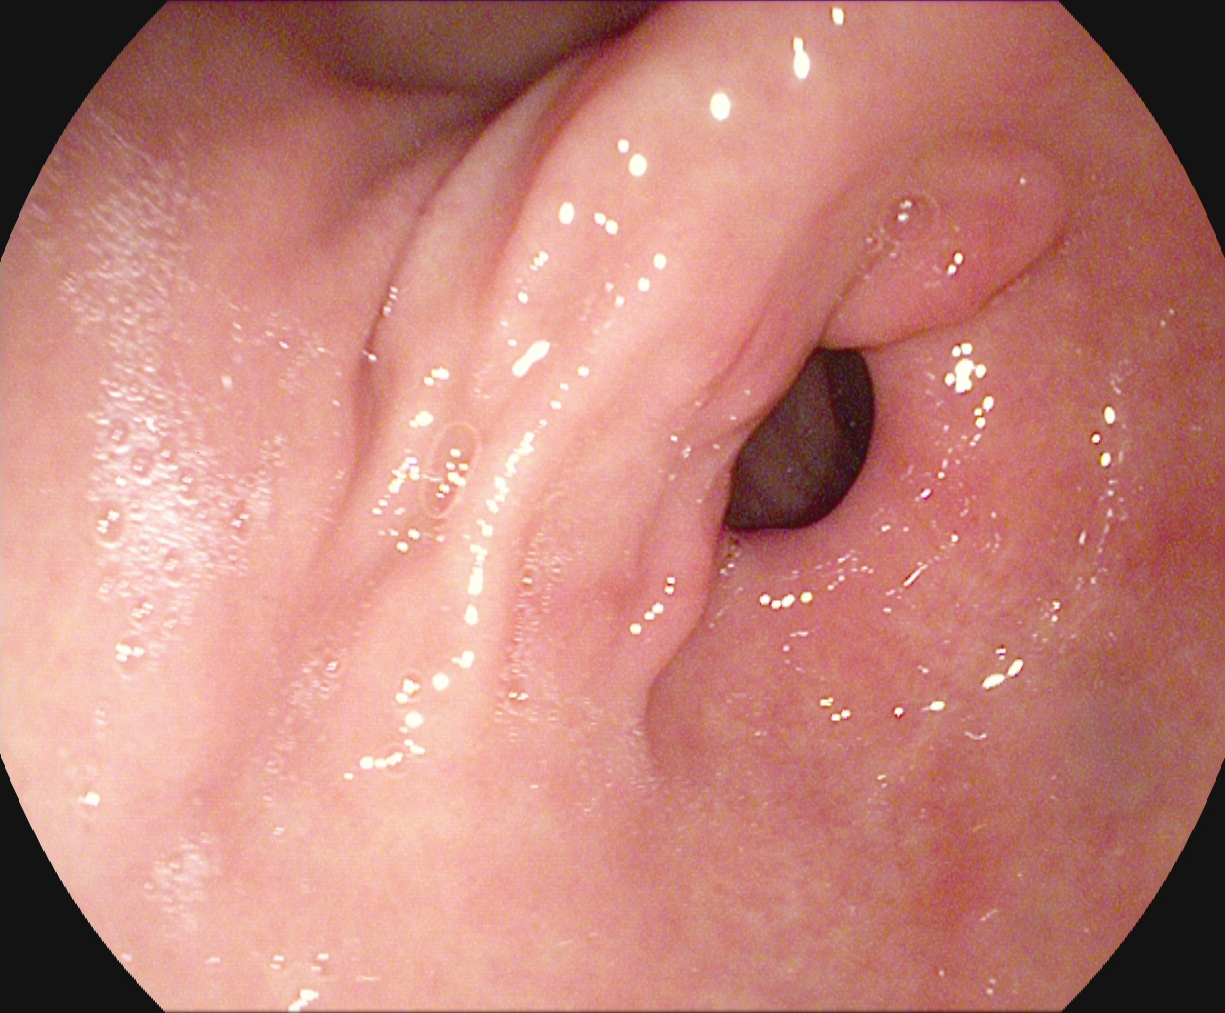Pylorus.